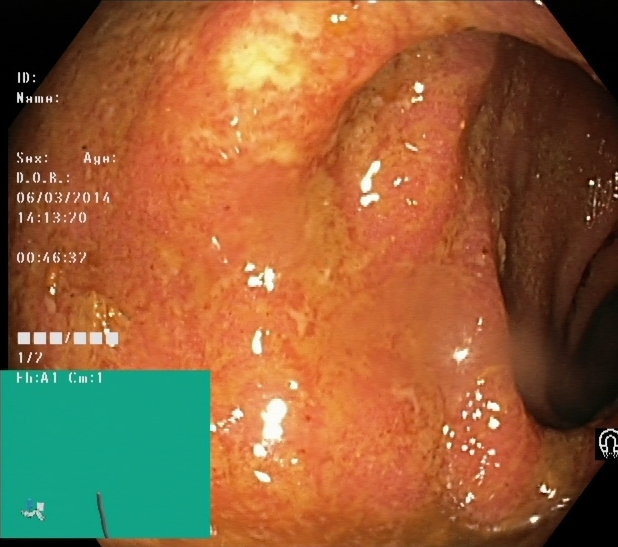modality: lower gastrointestinal endoscopy | tract: lower GI tract | finding: ulcerative colitis, Mayo endoscopic subscore 2